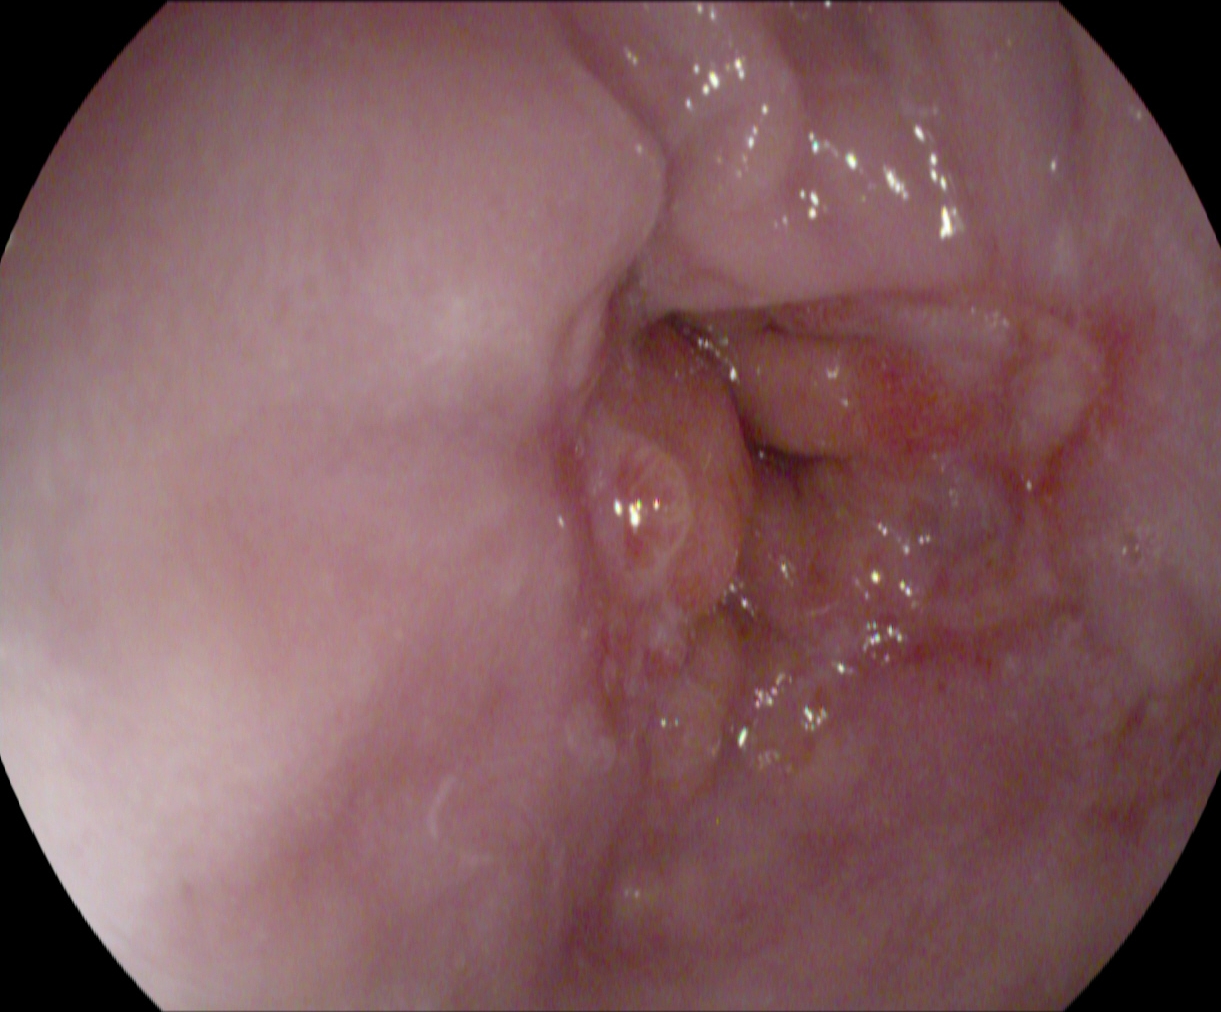modality: esophagogastroduodenoscopy
finding: reflux esophagitis, Los Angeles grade B–D